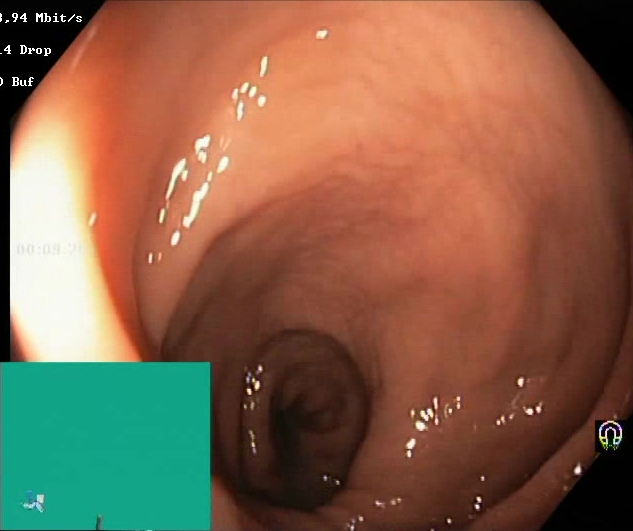PROCEDURE: Lower-GI endoscopy.
FINDINGS: Boston Bowel Preparation Scale score 2–3 (adequate preparation).